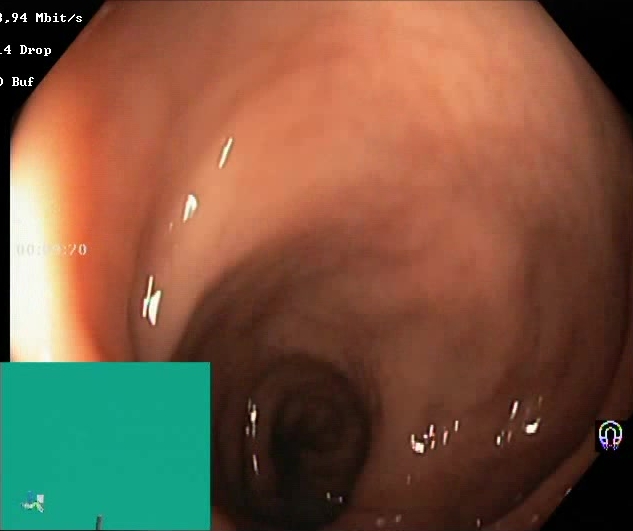Boston Bowel Preparation Scale score 2–3 (adequate preparation).